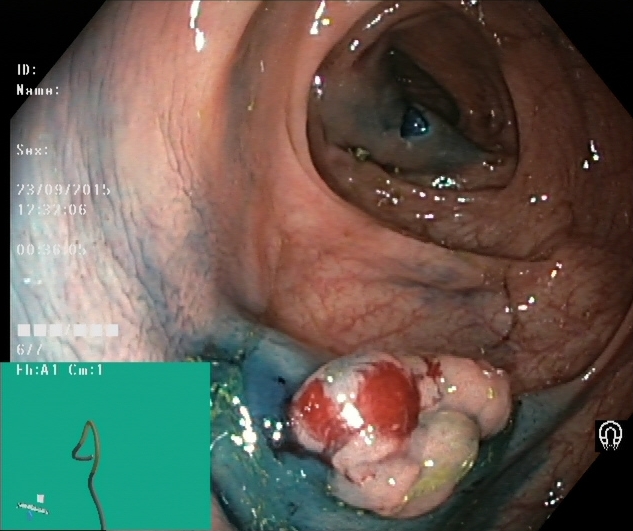Lower gastrointestinal endoscopy. Therapeutic intervention. Finding: dyed and lifted polyp (pre-resection).